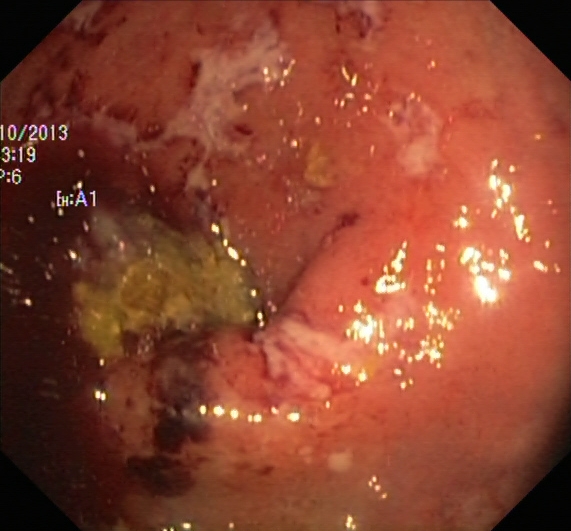PROCEDURE: Lower gastrointestinal endoscopy.
FINDINGS: Ulcerative colitis, Mayo endoscopic subscore 3.